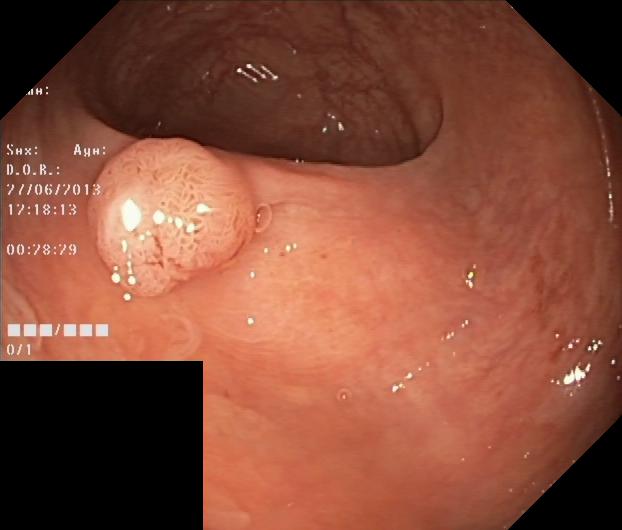Lower gastrointestinal endoscopy image showing colorectal polyp(s).